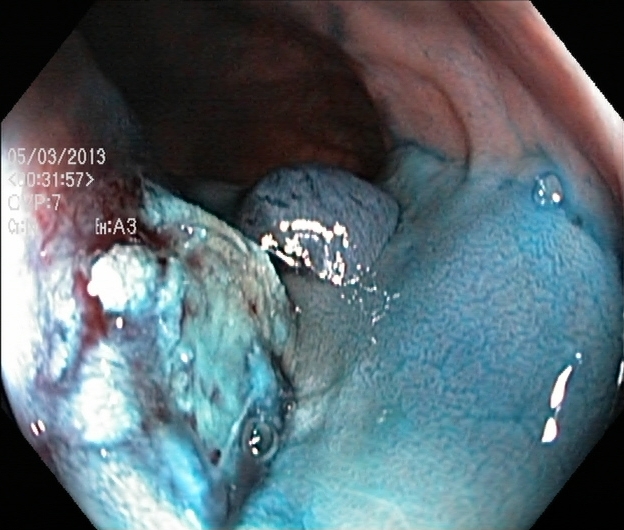Lower gastrointestinal endoscopy. Tract: lower GI tract. Therapeutic intervention. Finding: dyed and lifted polyp (pre-resection).